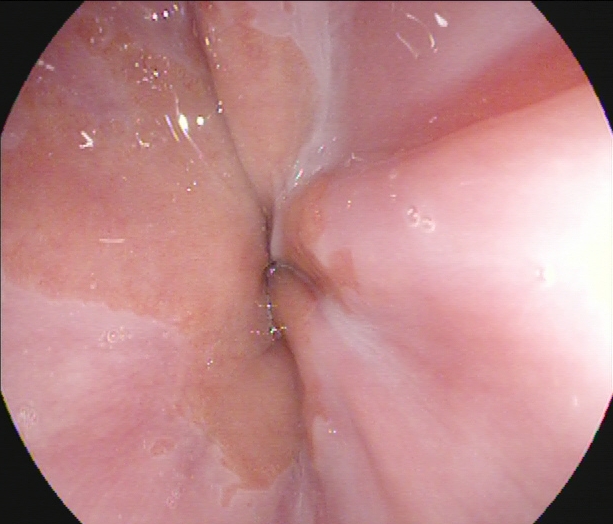This endoscopy frame shows Z-line (gastroesophageal junction).